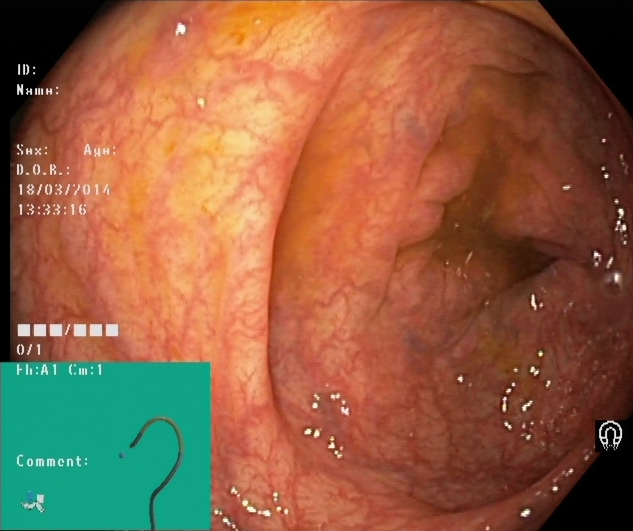{"modality": "lower-GI endoscopy", "tract": "lower GI tract", "category": "anatomical landmark", "finding": "cecum"}